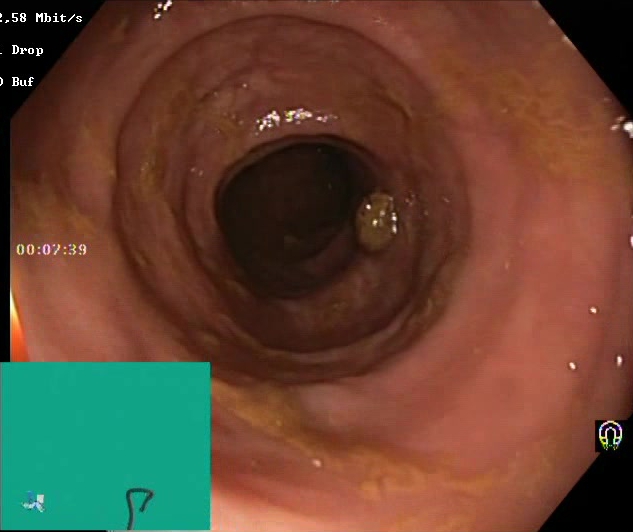Lower-GI endoscopy image showing Boston Bowel Preparation Scale score 2–3 (adequate preparation).